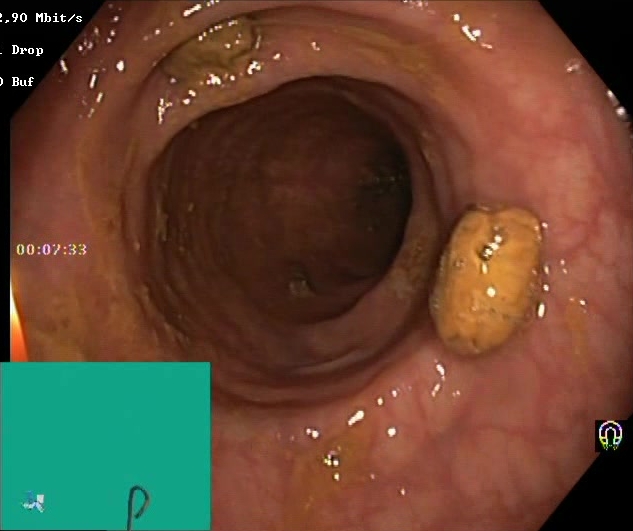{"modality": "lower-GI endoscopy", "tract": "lower GI tract", "category": "mucosal-view quality", "finding": "impacted stool"}